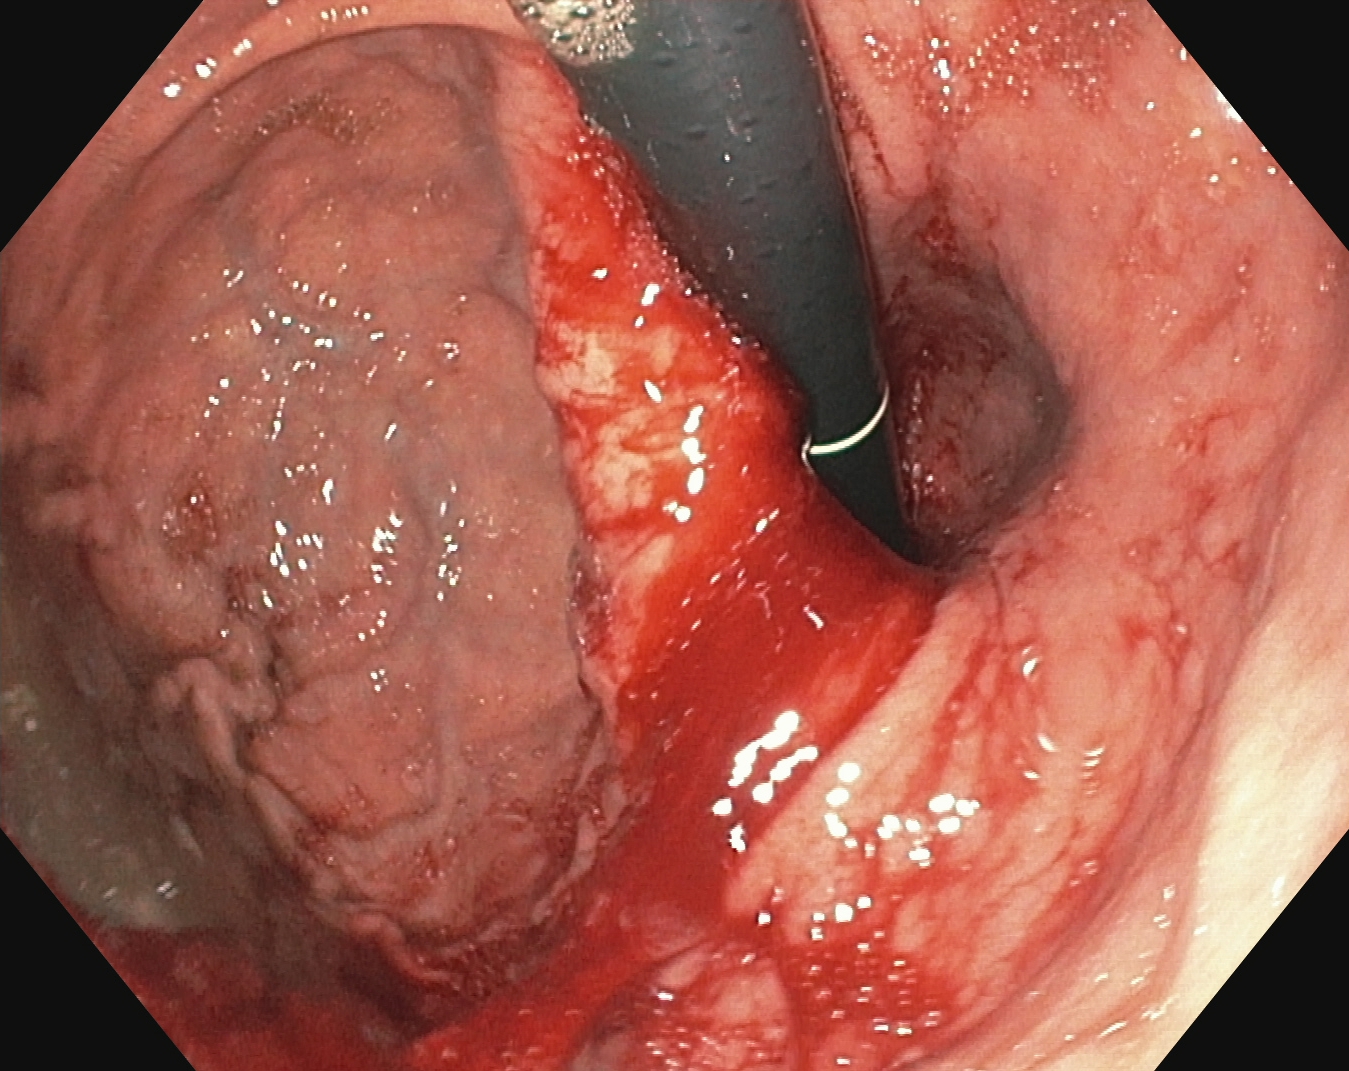PROCEDURE: Gastroscopy.
CATEGORY: Anatomical landmark.
FINDINGS: Stomach in retroflexion.